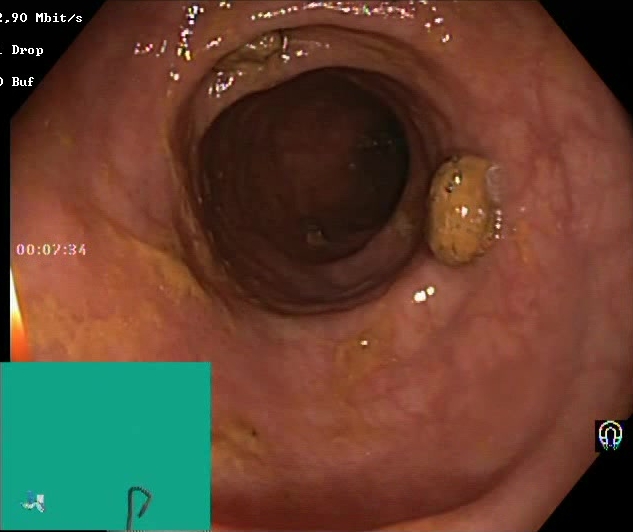Colonoscopy — Boston Bowel Preparation Scale score 2–3 (adequate preparation).